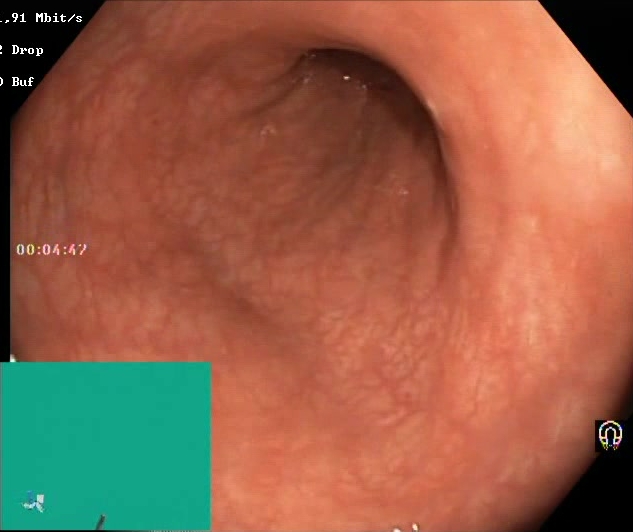BBPS score 2–3 (adequate preparation).